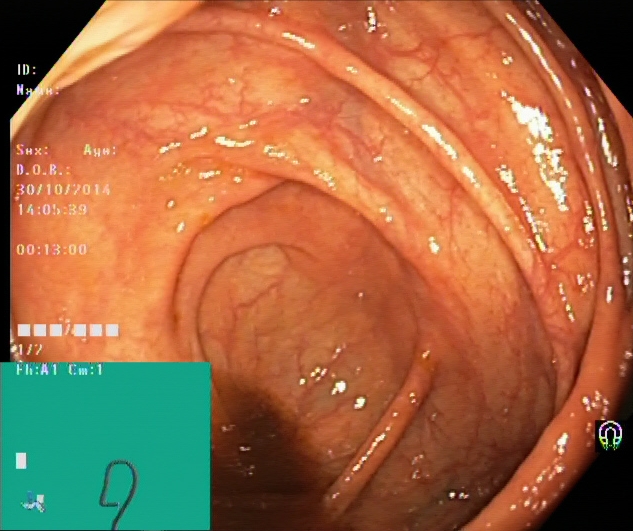modality: lower-GI endoscopy; finding: cecum